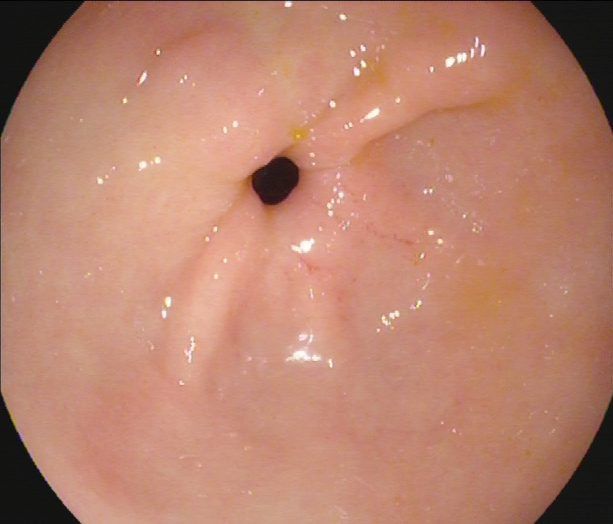This endoscopy frame of the upper GI tract shows pylorus.